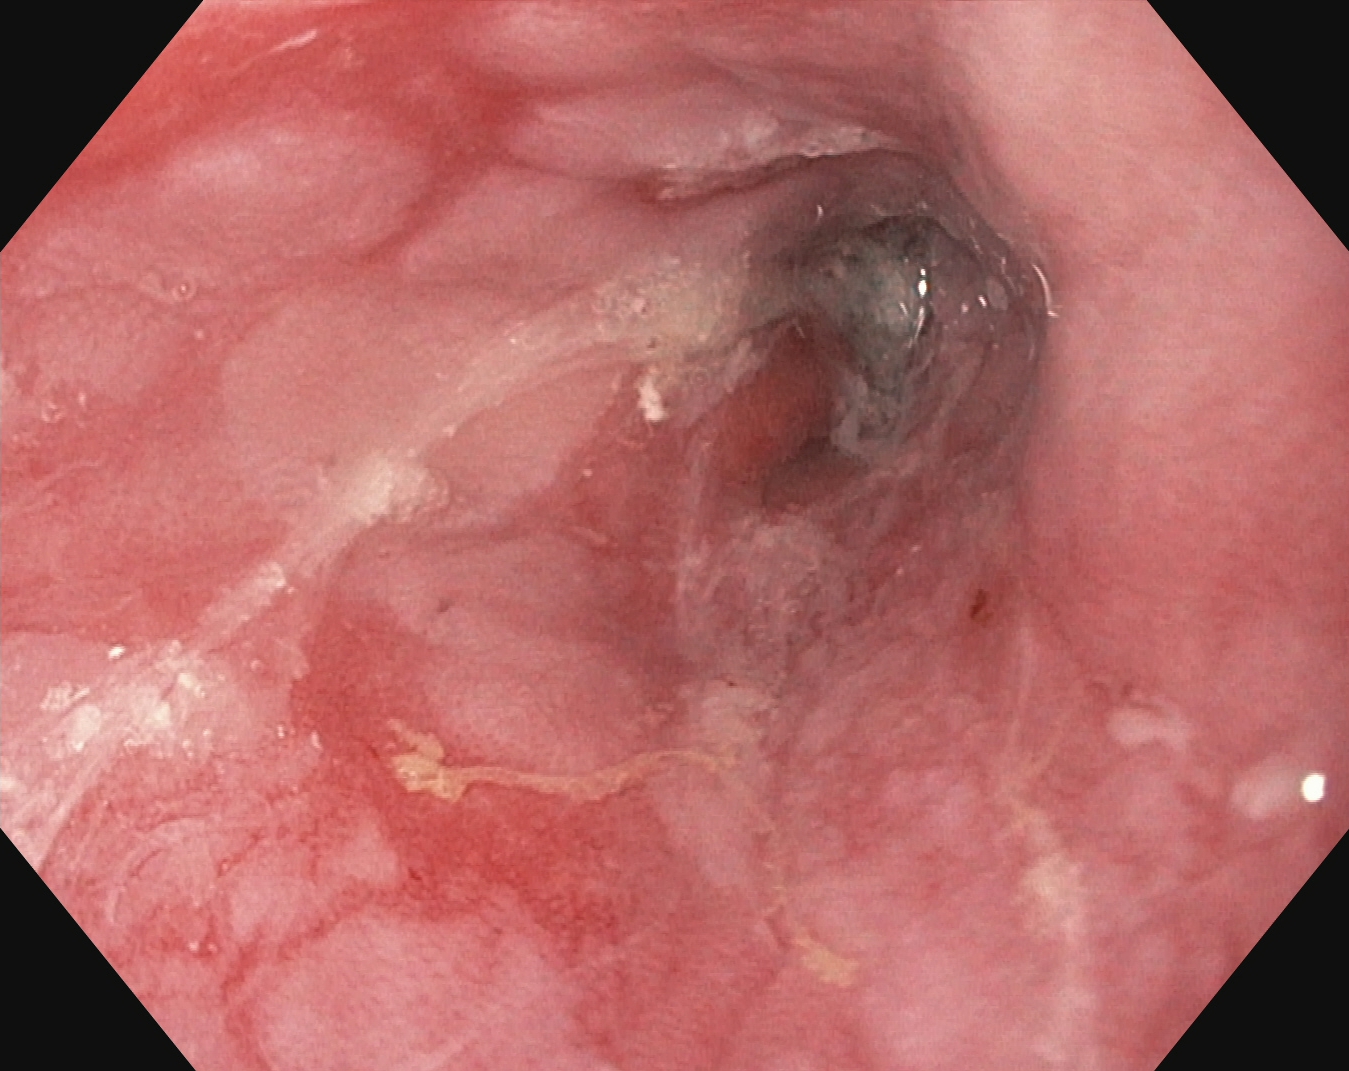This endoscopic image shows reflux esophagitis, Los Angeles grade B–D.